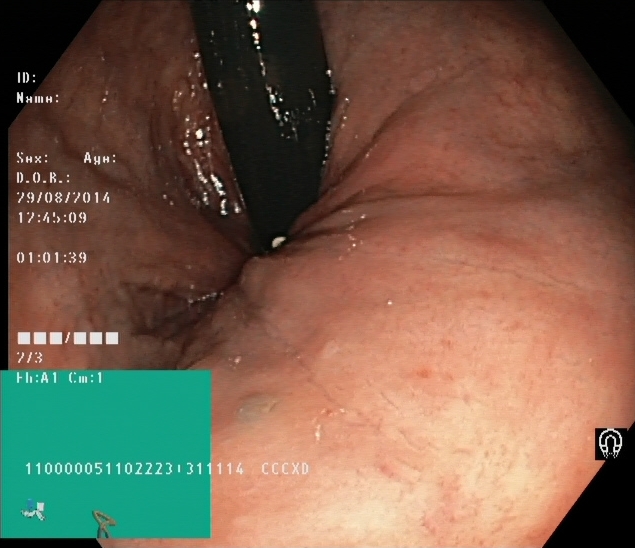Rectum in retroflexion.